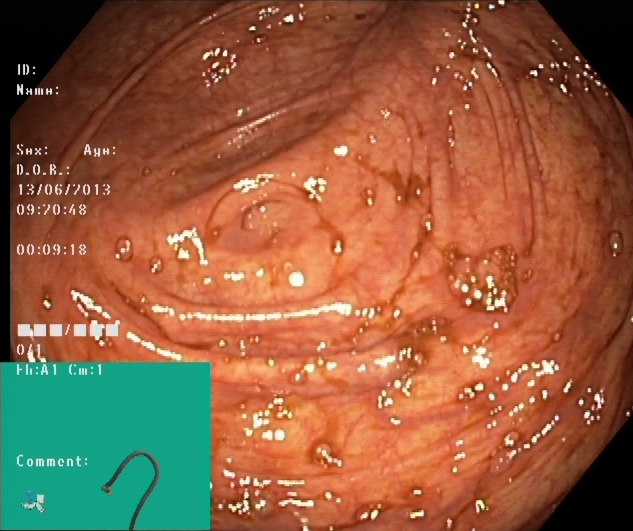Cecum.